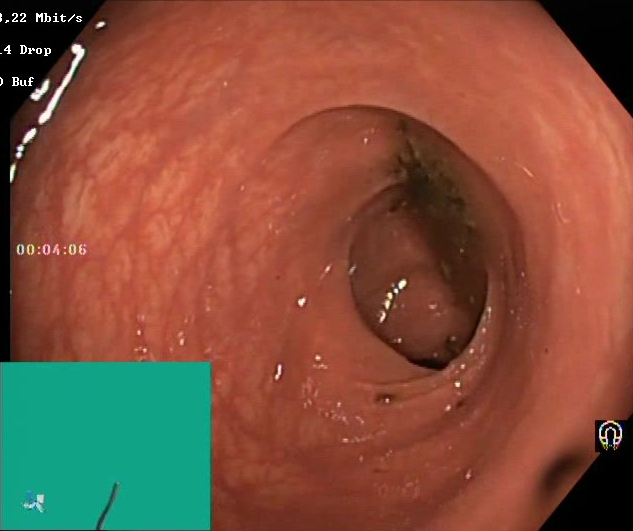Lower-GI endoscopy — Boston Bowel Preparation Scale score 0–1 (inadequate preparation).